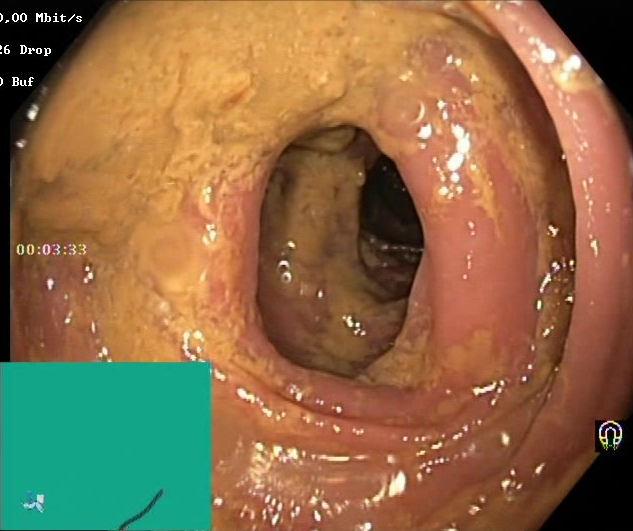{"modality": "lower-GI endoscopy", "finding": "Boston Bowel Preparation Scale score 0\u20131 (inadequate preparation)"}